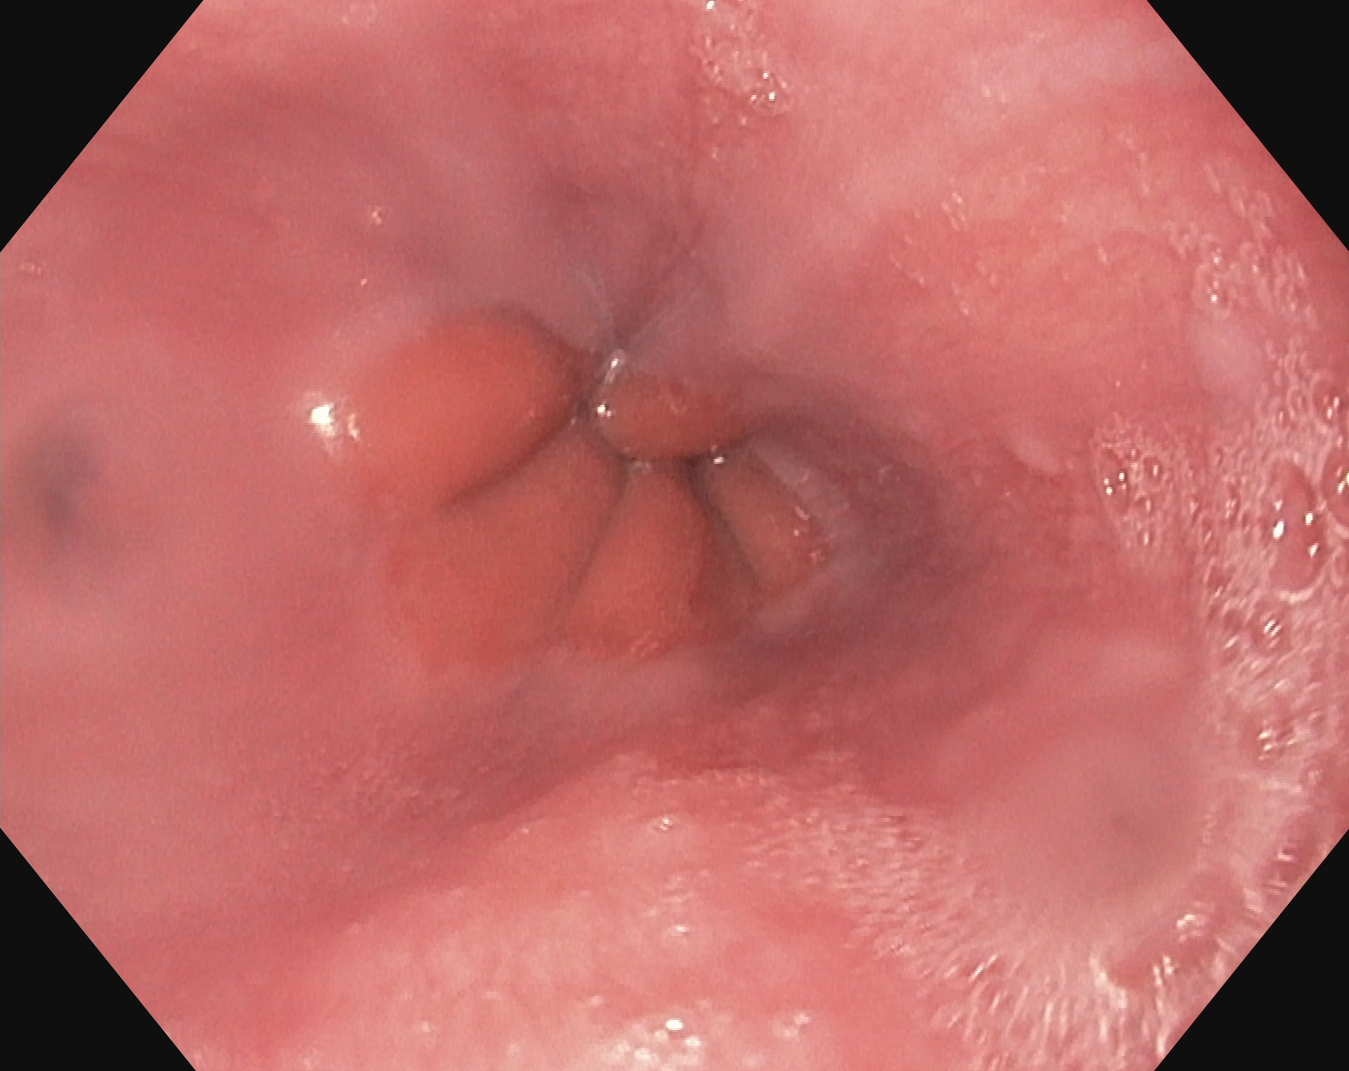modality: EGD
tract: upper GI tract
category: anatomical landmark
finding: Z-line (gastroesophageal junction)